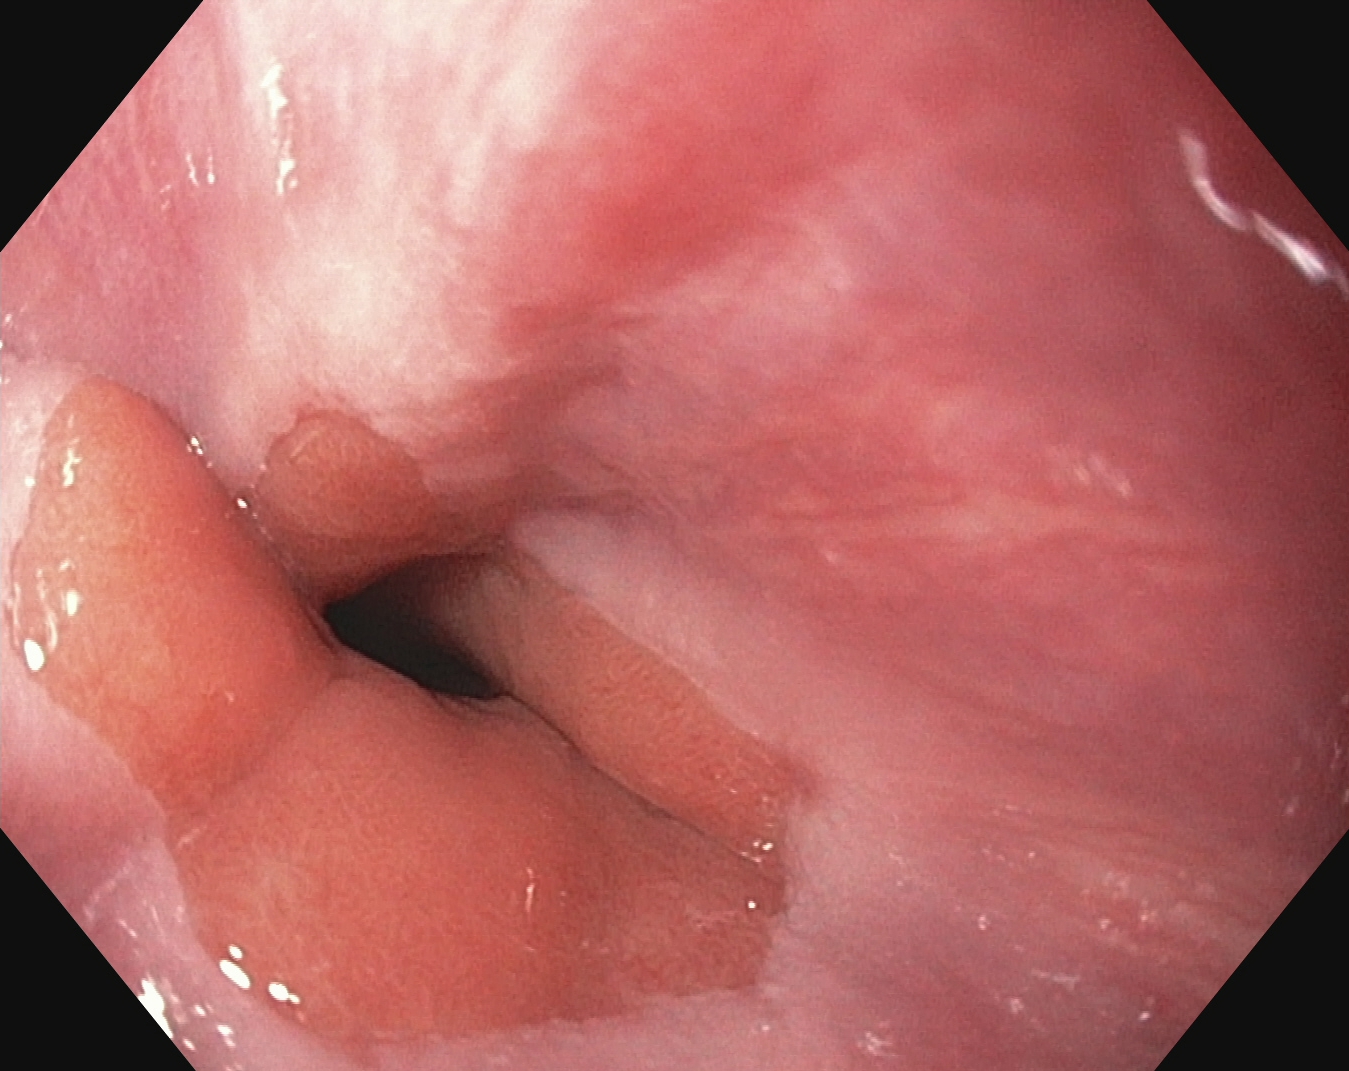modality: esophagogastroduodenoscopy
category: anatomical landmark
finding: Z-line (gastroesophageal junction)